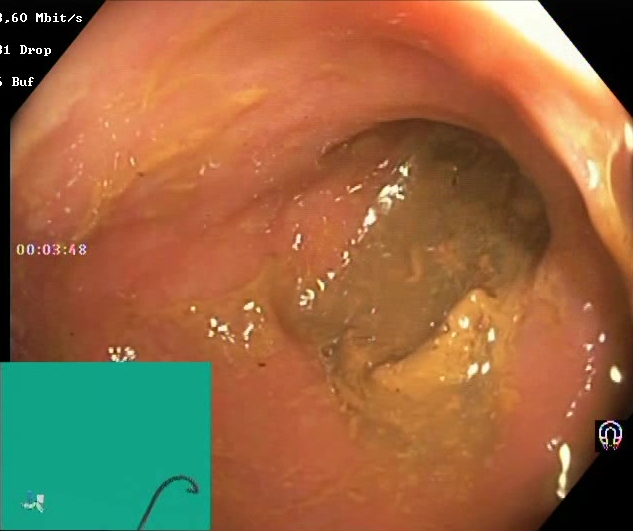Boston Bowel Preparation Scale score 0–1 (inadequate preparation).